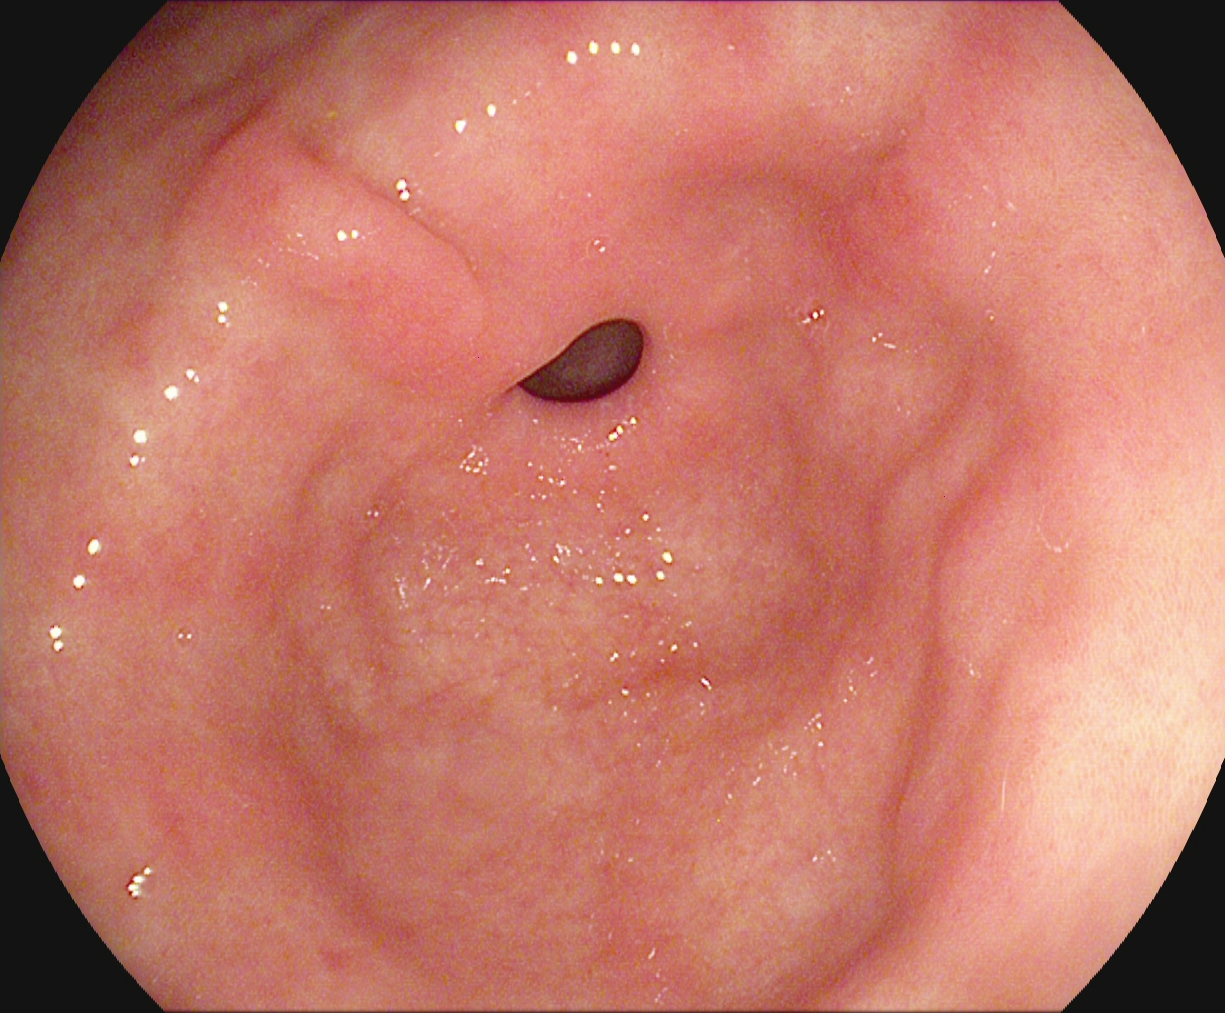PROCEDURE: Upper-GI endoscopy.
CATEGORY: Anatomical landmark.
FINDINGS: Pylorus.